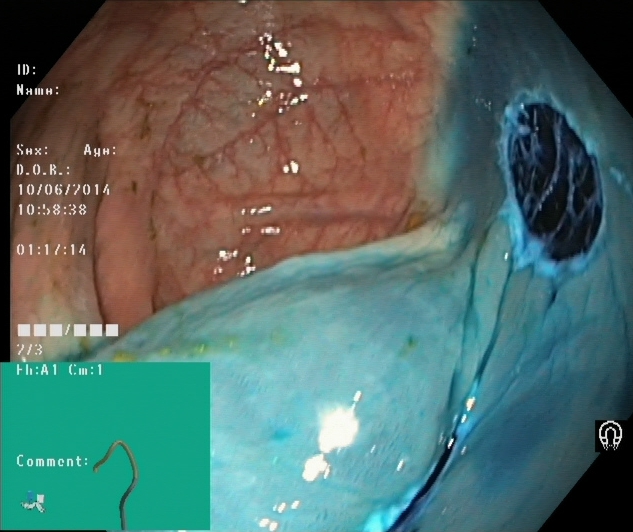{"modality": "lower-GI endoscopy", "finding": "dyed resection margins (post-polypectomy)"}